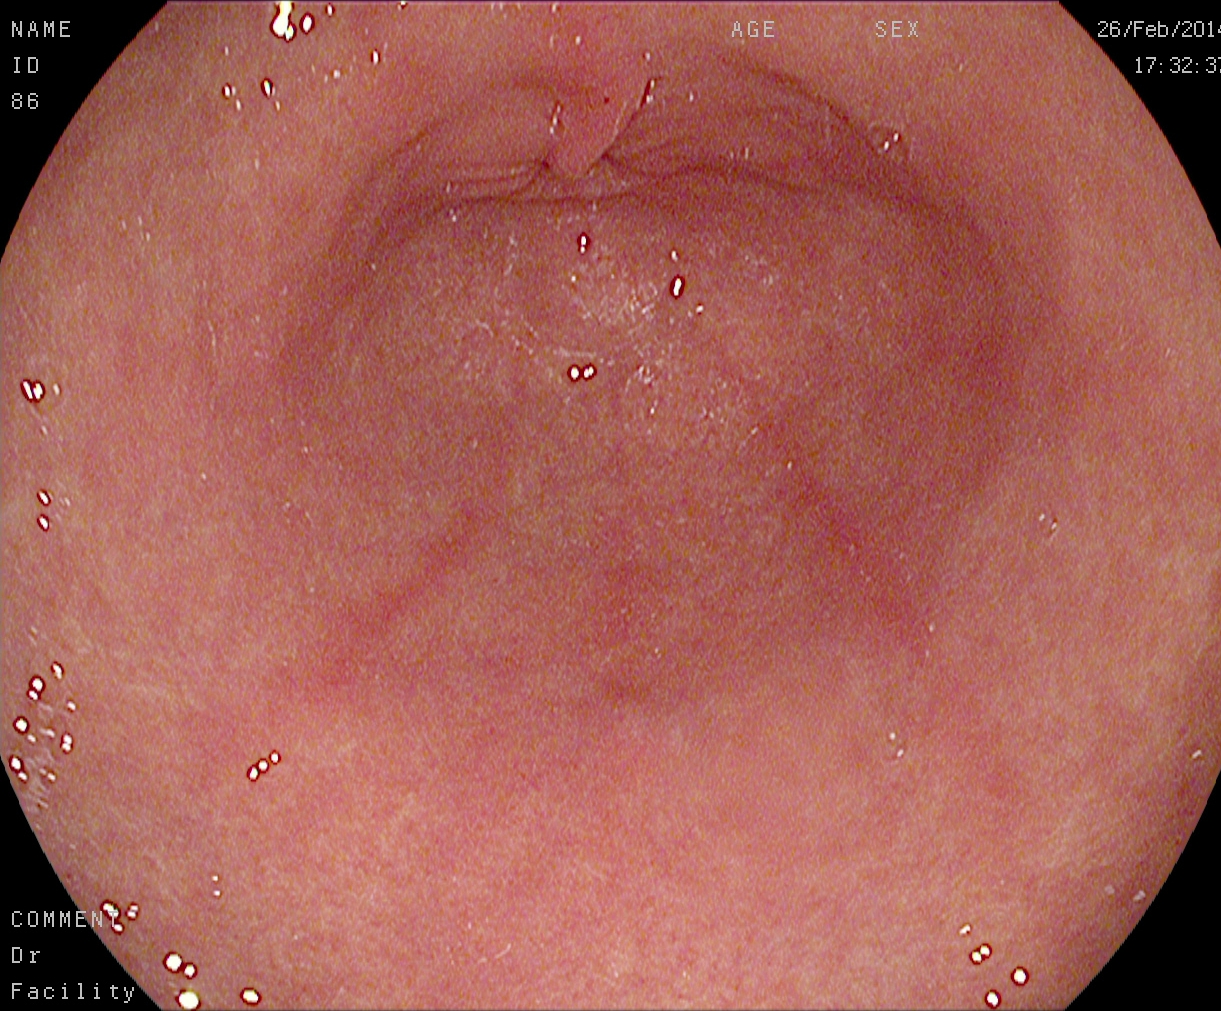{"modality": "esophagogastroduodenoscopy", "finding": "pylorus"}